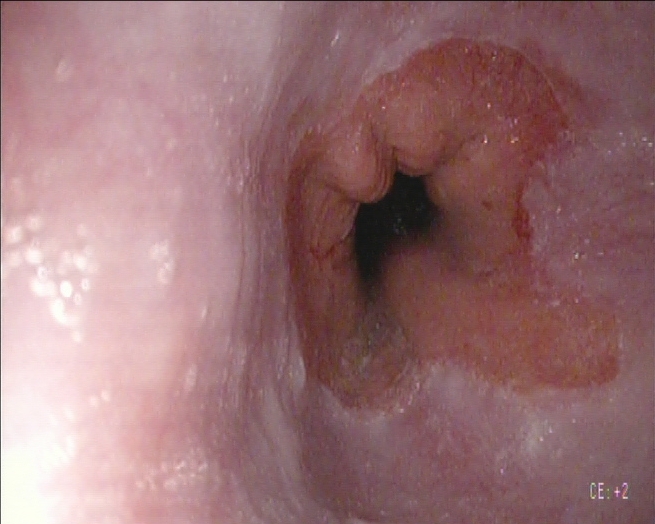Upper-GI endoscopy — Z-line (gastroesophageal junction).